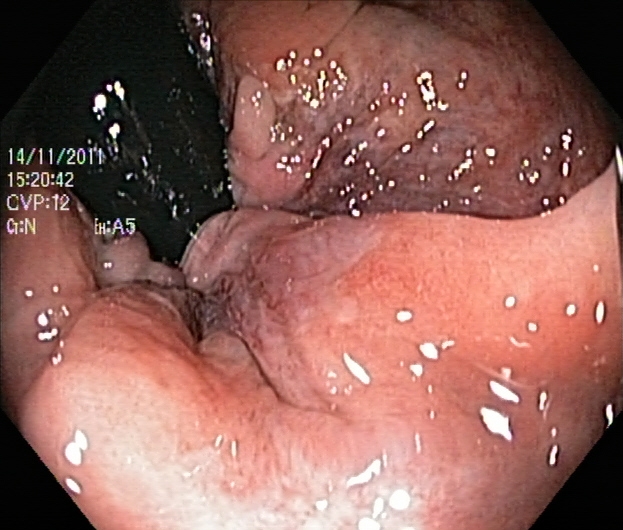Lower-GI endoscopy — rectum in retroflexion.